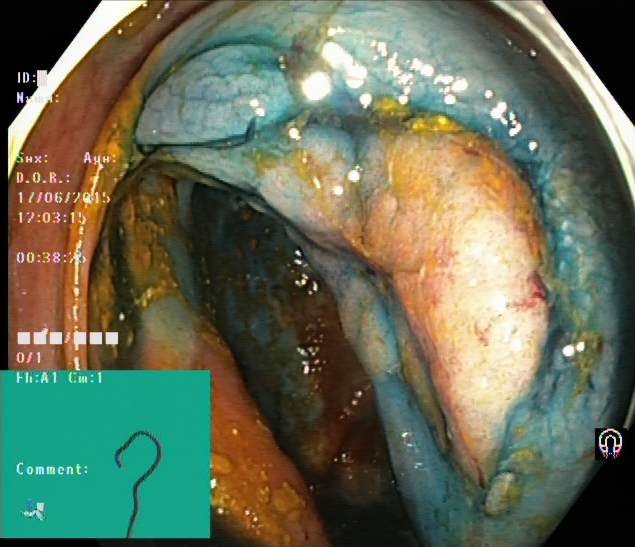This endoscopy frame shows dyed and lifted polyp (pre-resection).